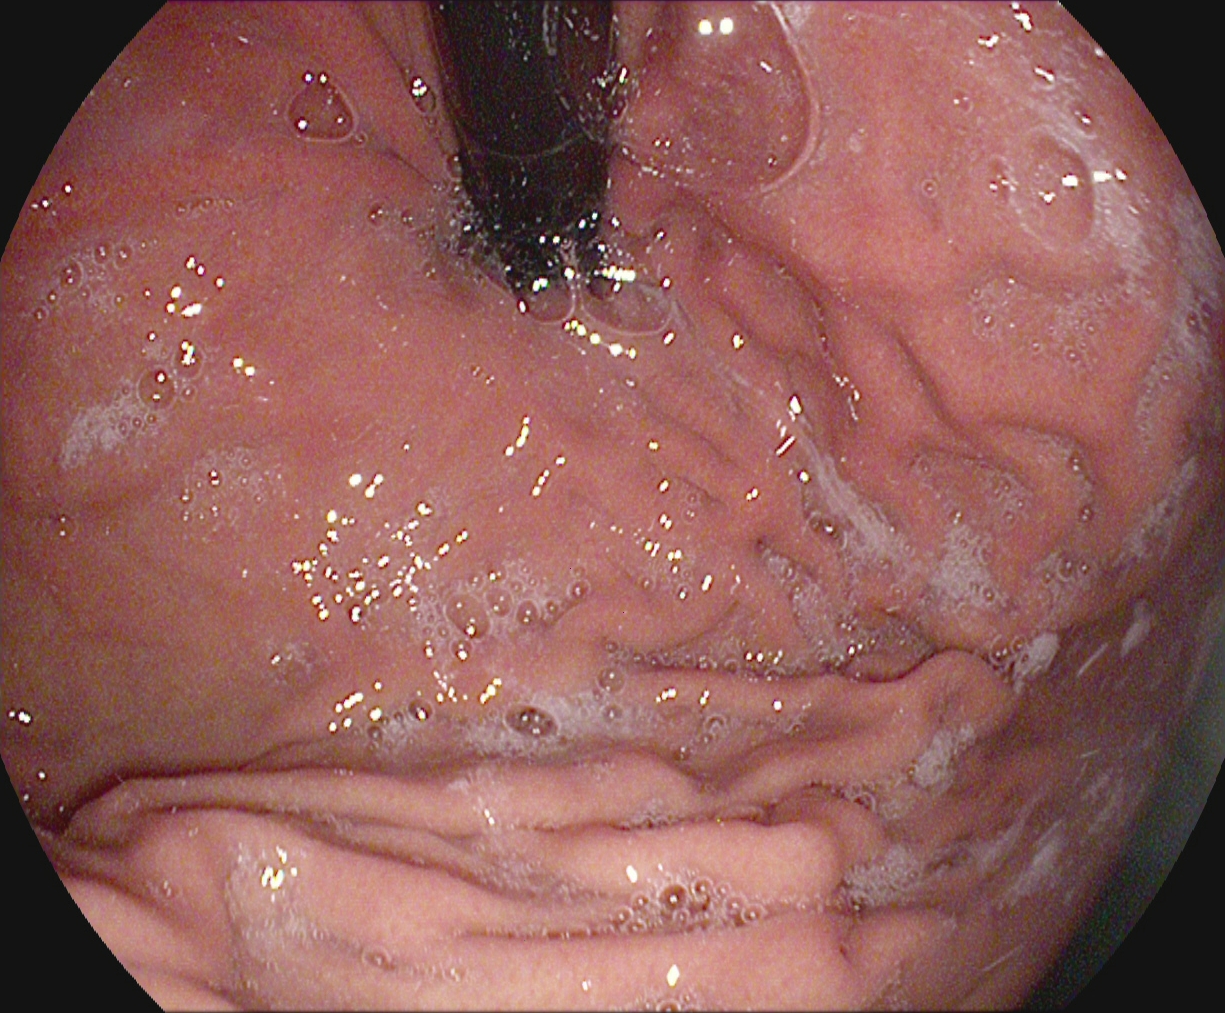modality: EGD; tract: upper GI tract; finding: stomach in retroflexion